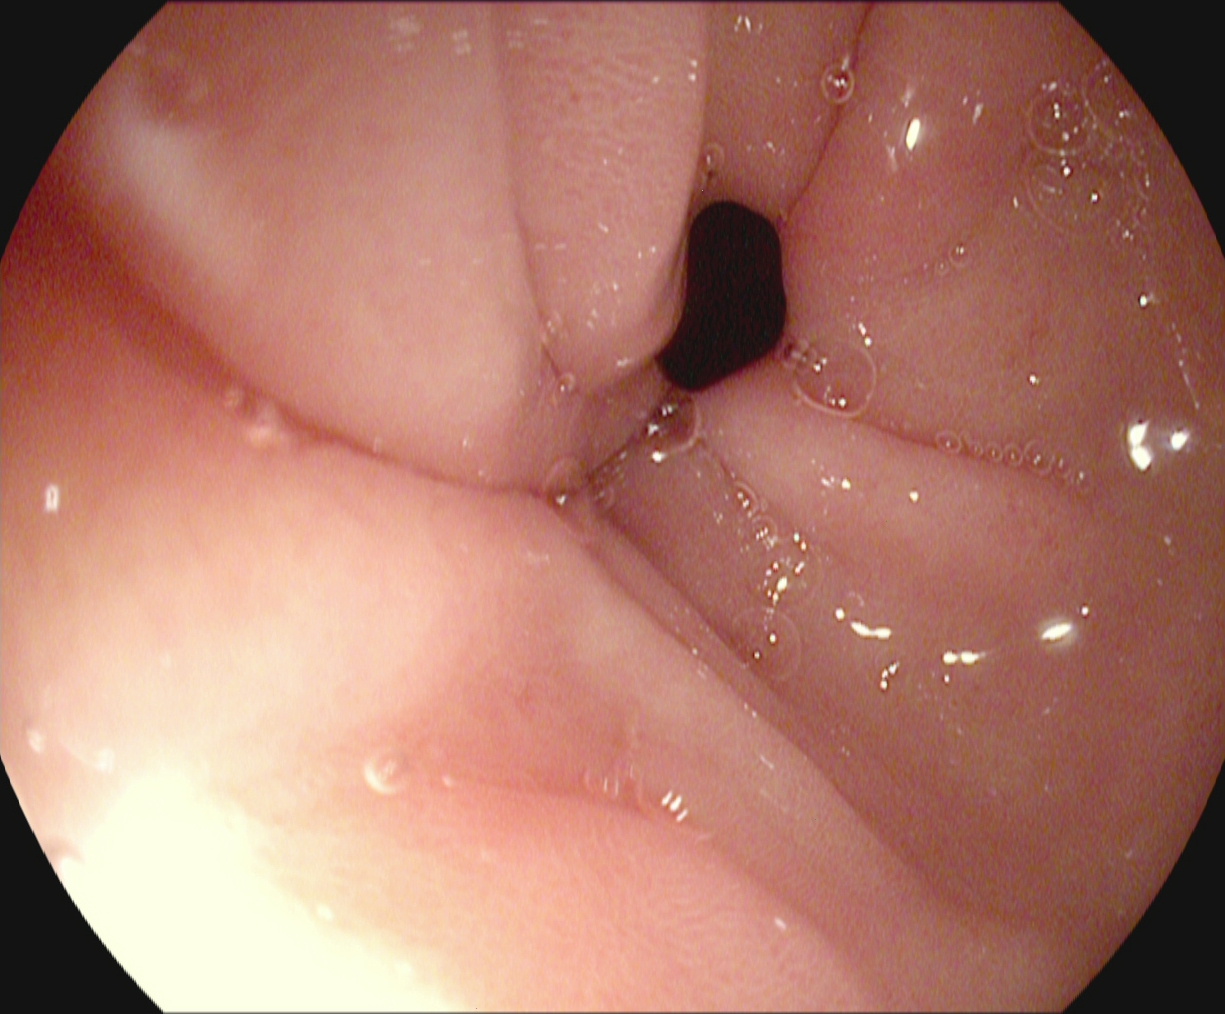{"modality": "gastroscopy", "category": "anatomical landmark", "finding": "pylorus"}